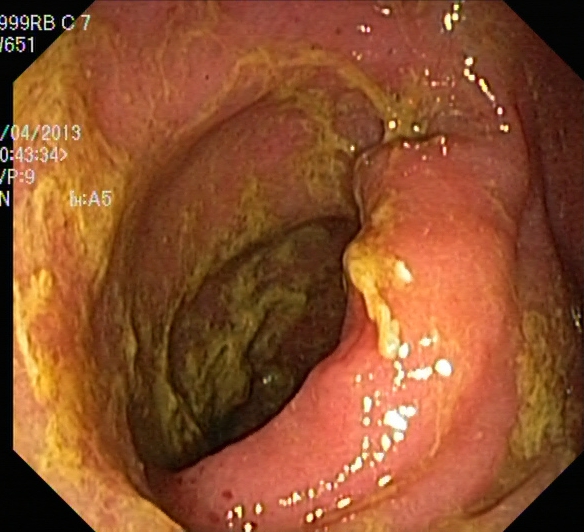Boston Bowel Preparation Scale score 0–1 (inadequate preparation).